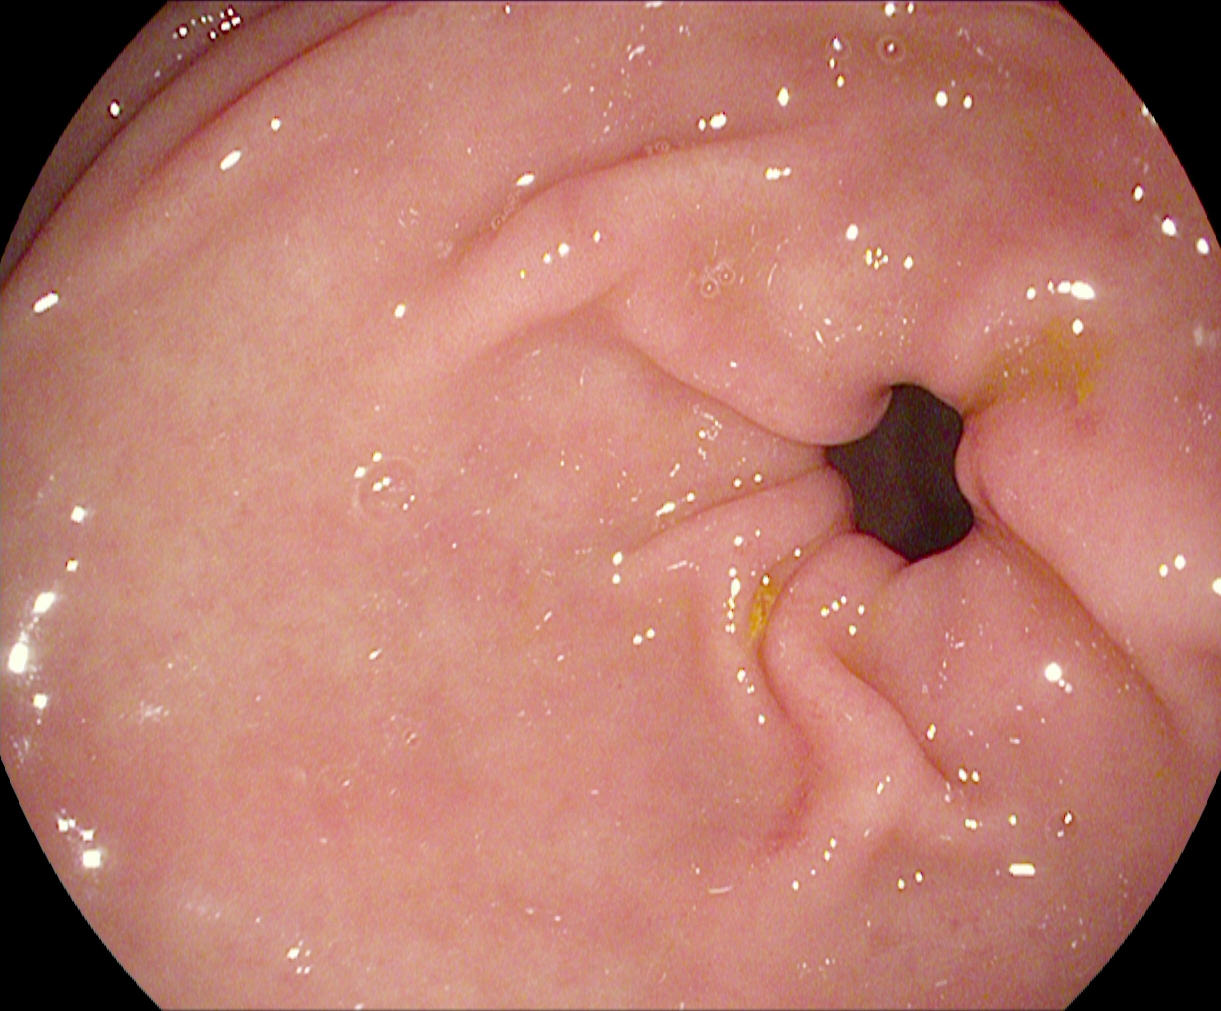Pylorus.